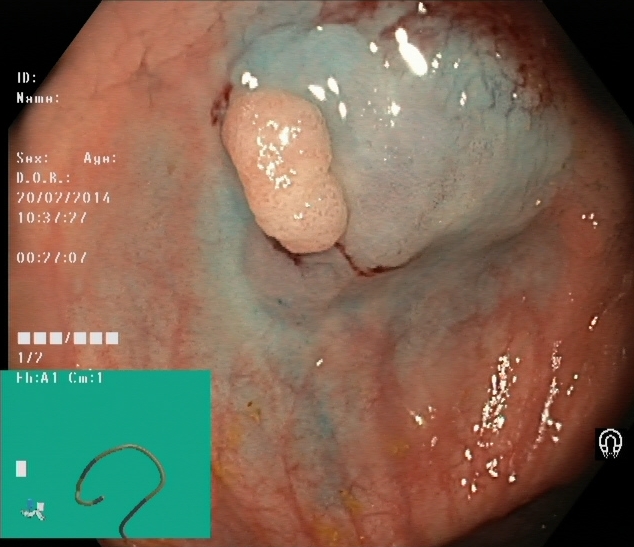Dyed and lifted polyp (pre-resection).